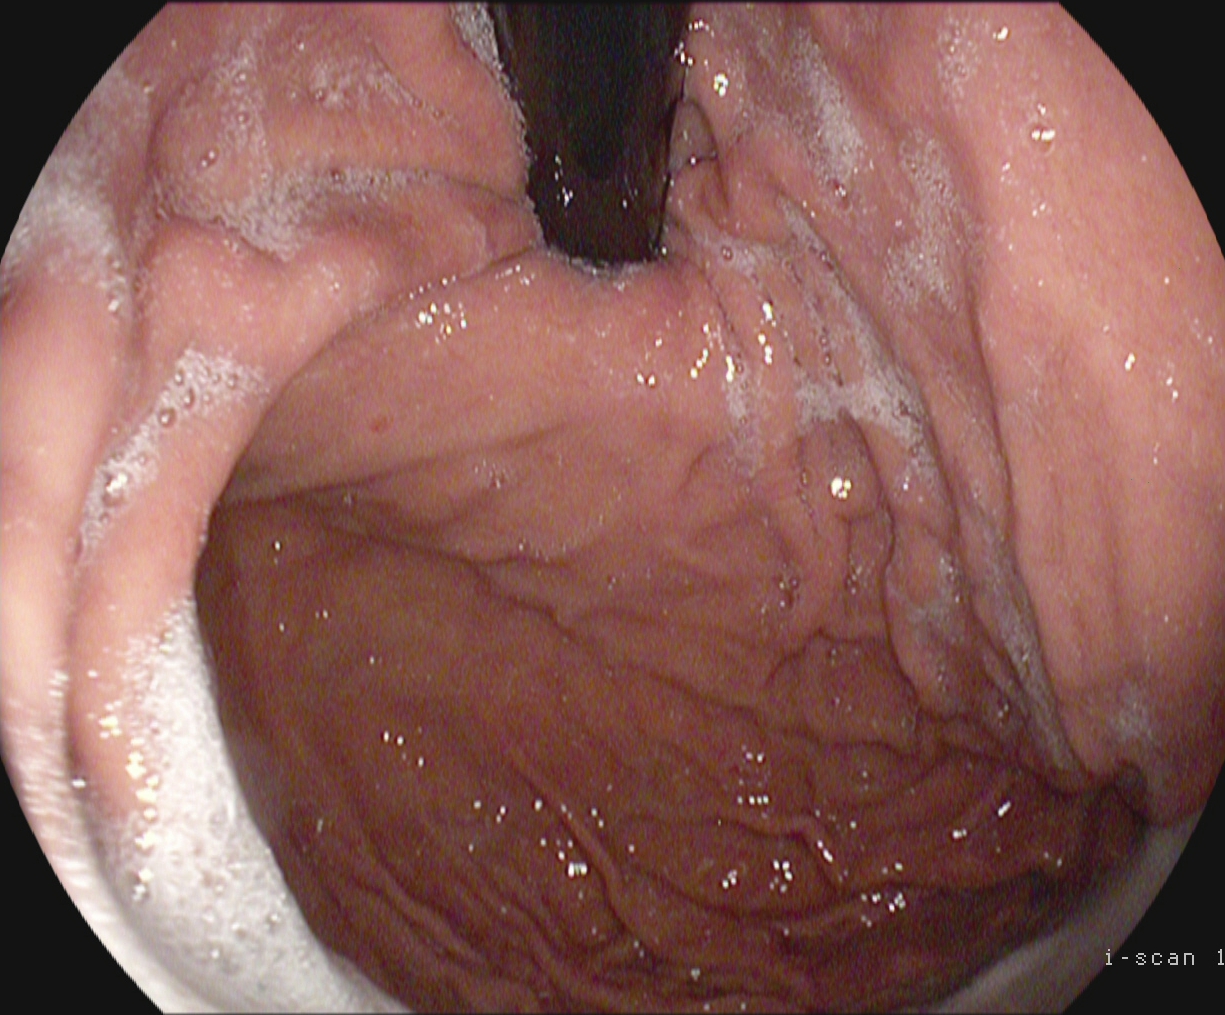Upper-GI endoscopy image of the upper GI tract showing stomach in retroflexion.